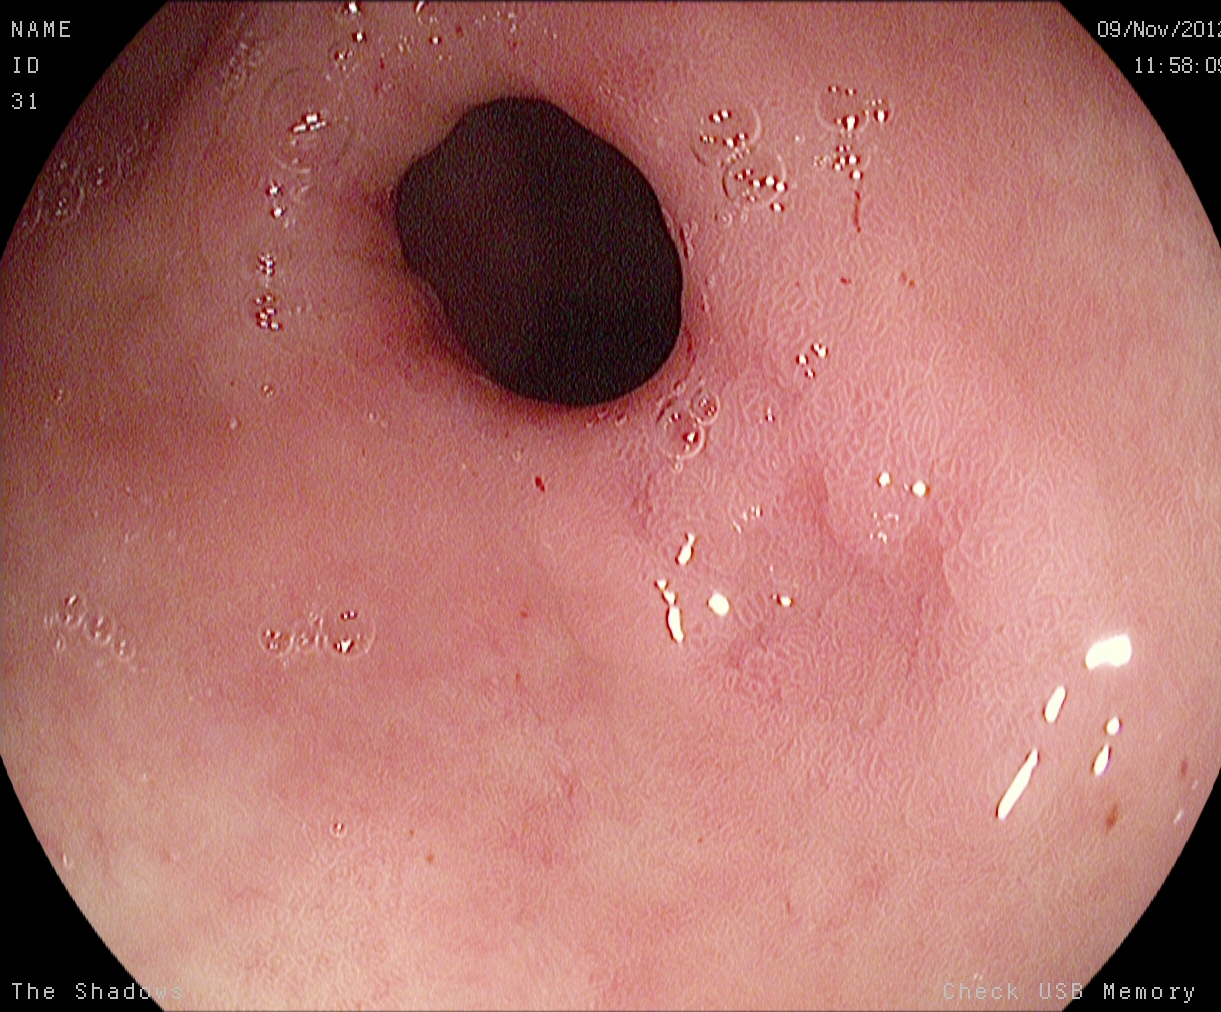Pylorus.